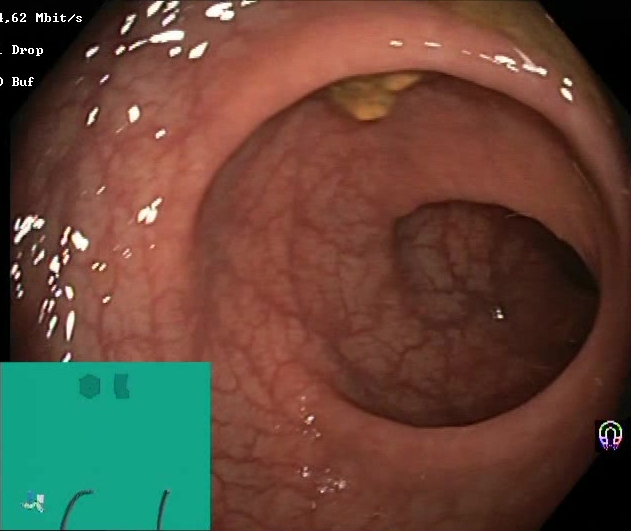Endoscopic frame of the lower GI tract showing Boston Bowel Preparation Scale score 2–3 (adequate preparation).